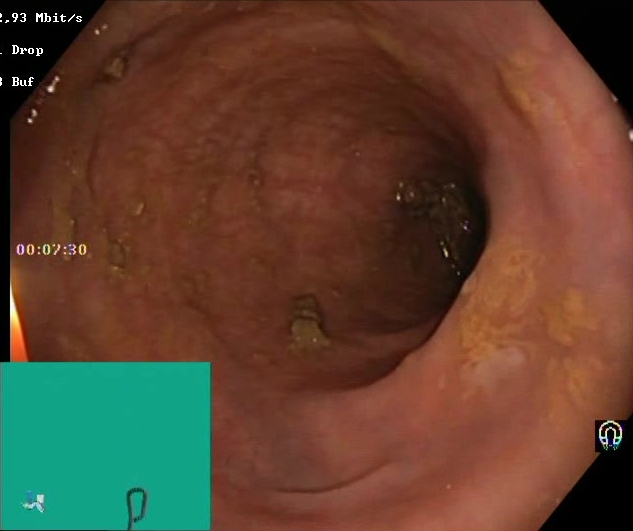{"modality": "lower-GI endoscopy", "category": "mucosal-view quality", "finding": "BBPS score 2\u20133 (adequate preparation)"}